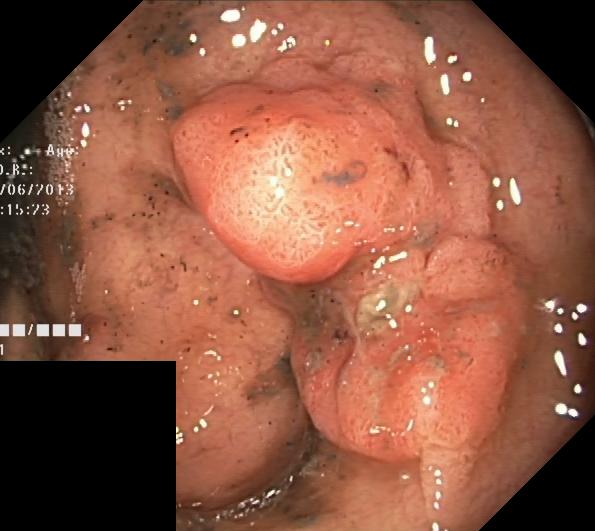PROCEDURE: Lower-GI endoscopy.
FINDINGS: Colorectal polyp(s).